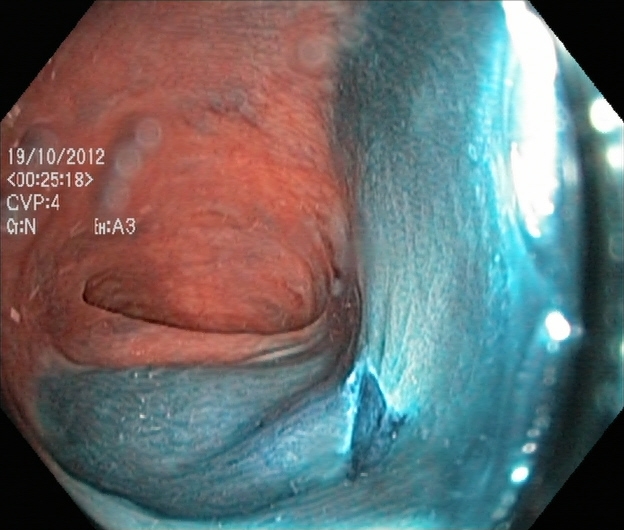This endoscopy frame of the lower GI tract shows dyed resection margins (post-polypectomy).